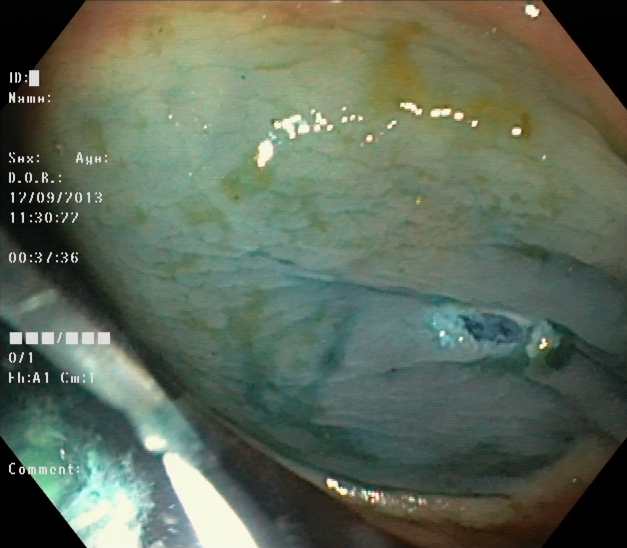Lower-GI endoscopy. Tract: lower GI tract. Finding: dyed resection margins (post-polypectomy).